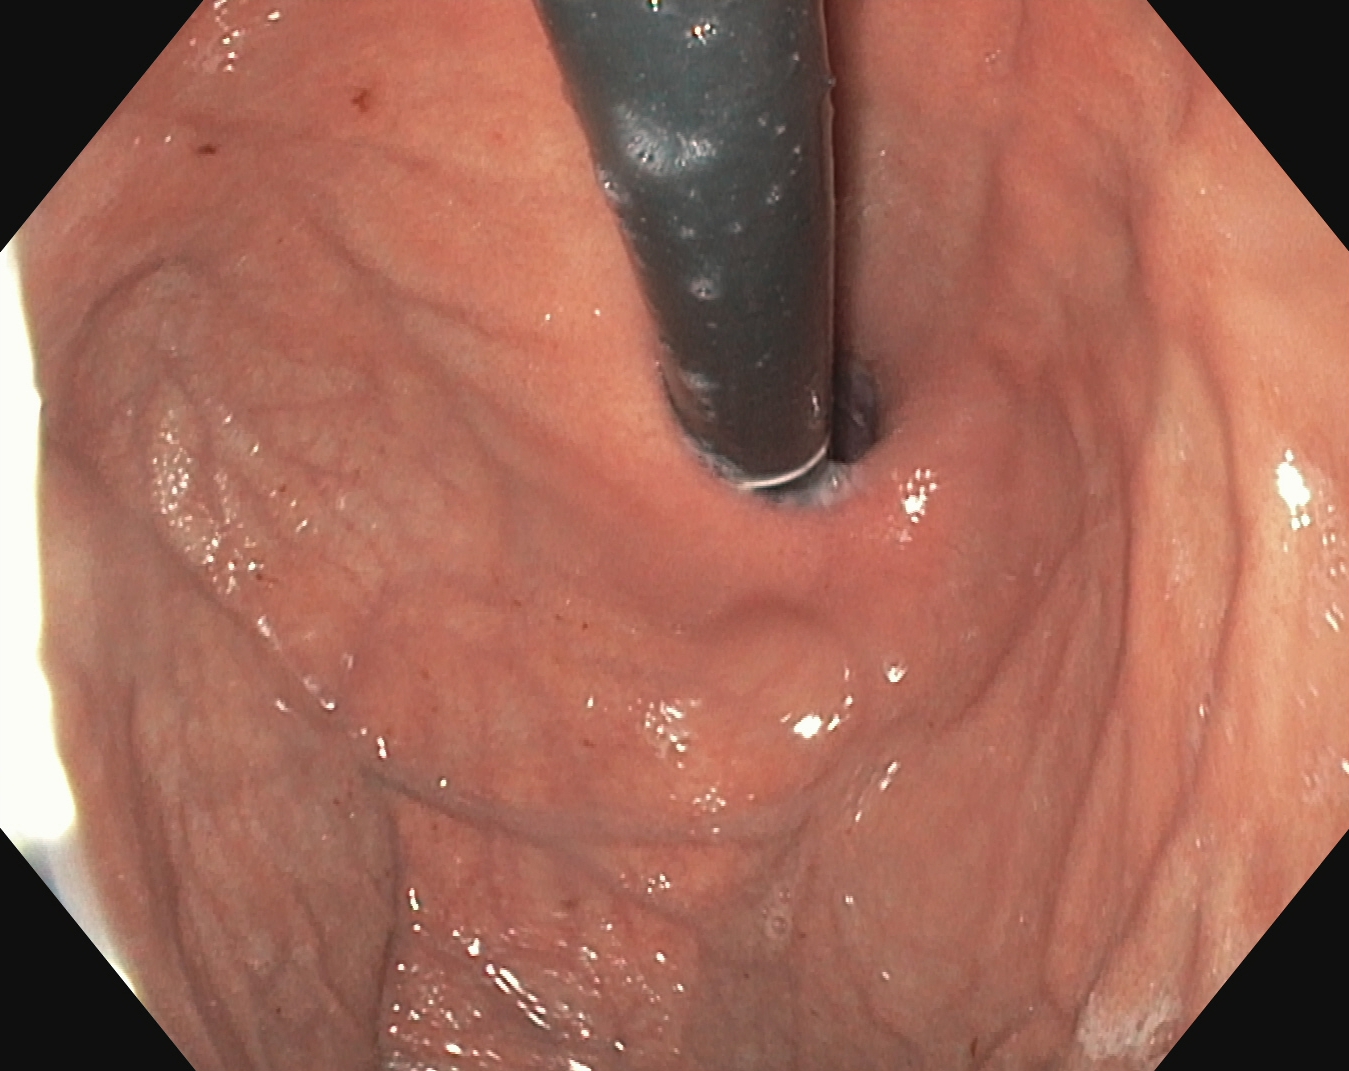This endoscopic image shows stomach in retroflexion.